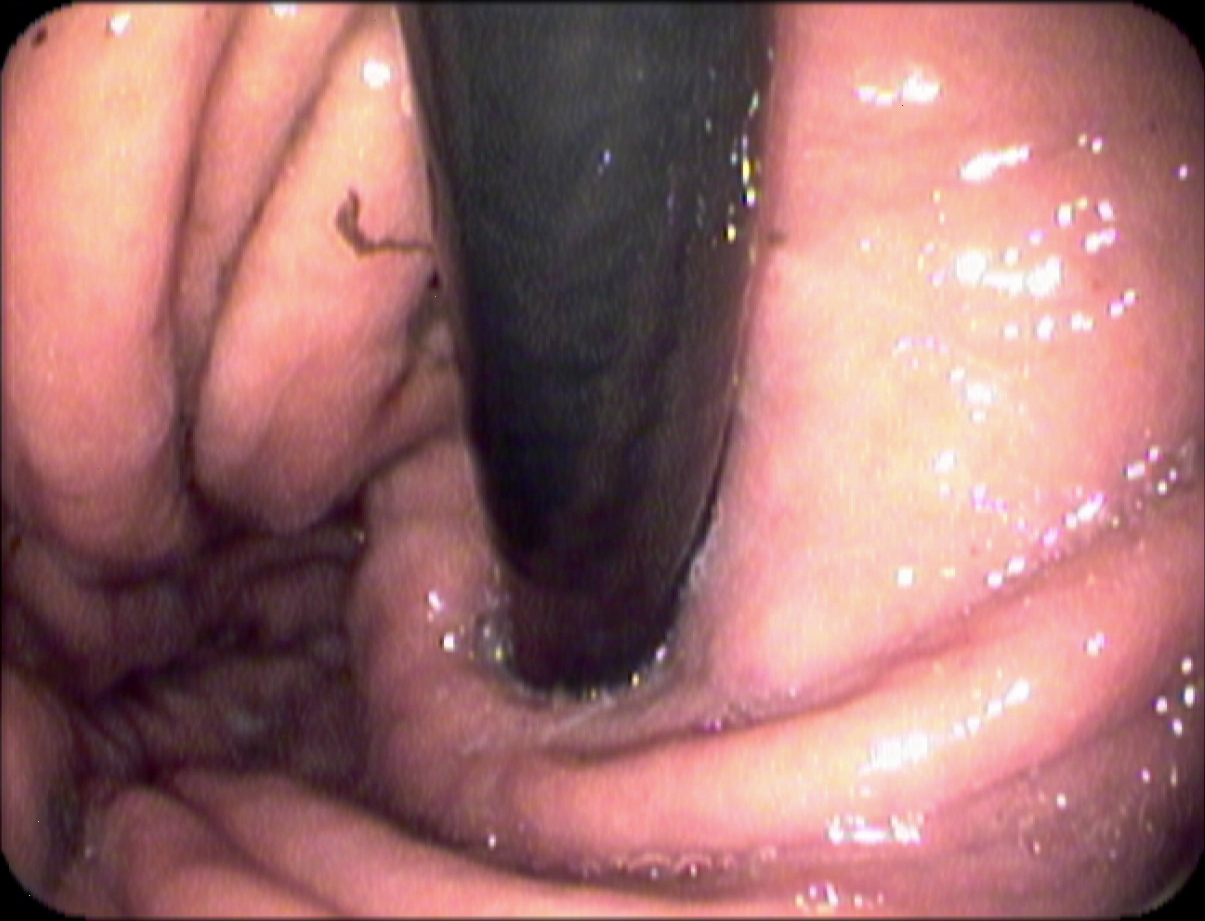PROCEDURE: Esophagogastroduodenoscopy.
FINDINGS: Stomach in retroflexion.